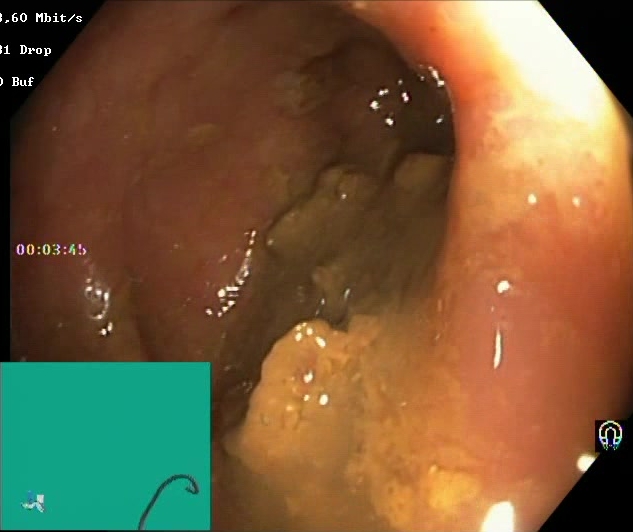Lower gastrointestinal endoscopy image of the lower GI tract showing BBPS score 0–1 (inadequate preparation).